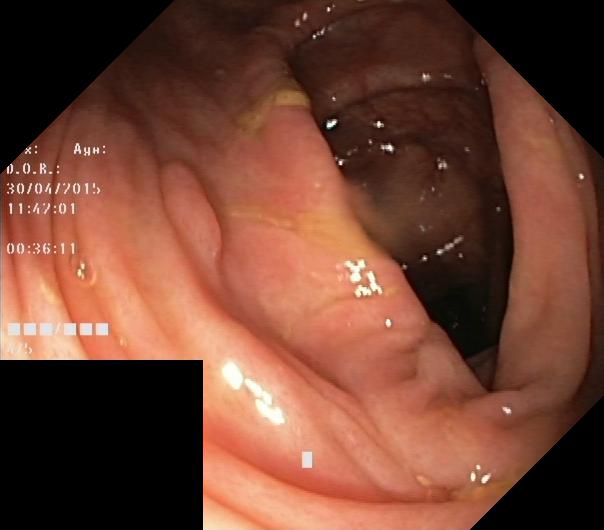Lower-GI endoscopy image of the lower GI tract showing colorectal polyp(s).